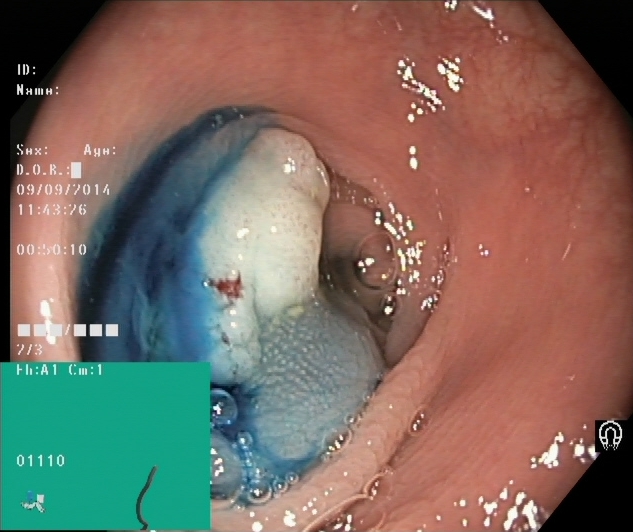PROCEDURE: Lower-GI endoscopy.
FINDINGS: Dyed and lifted polyp (pre-resection).